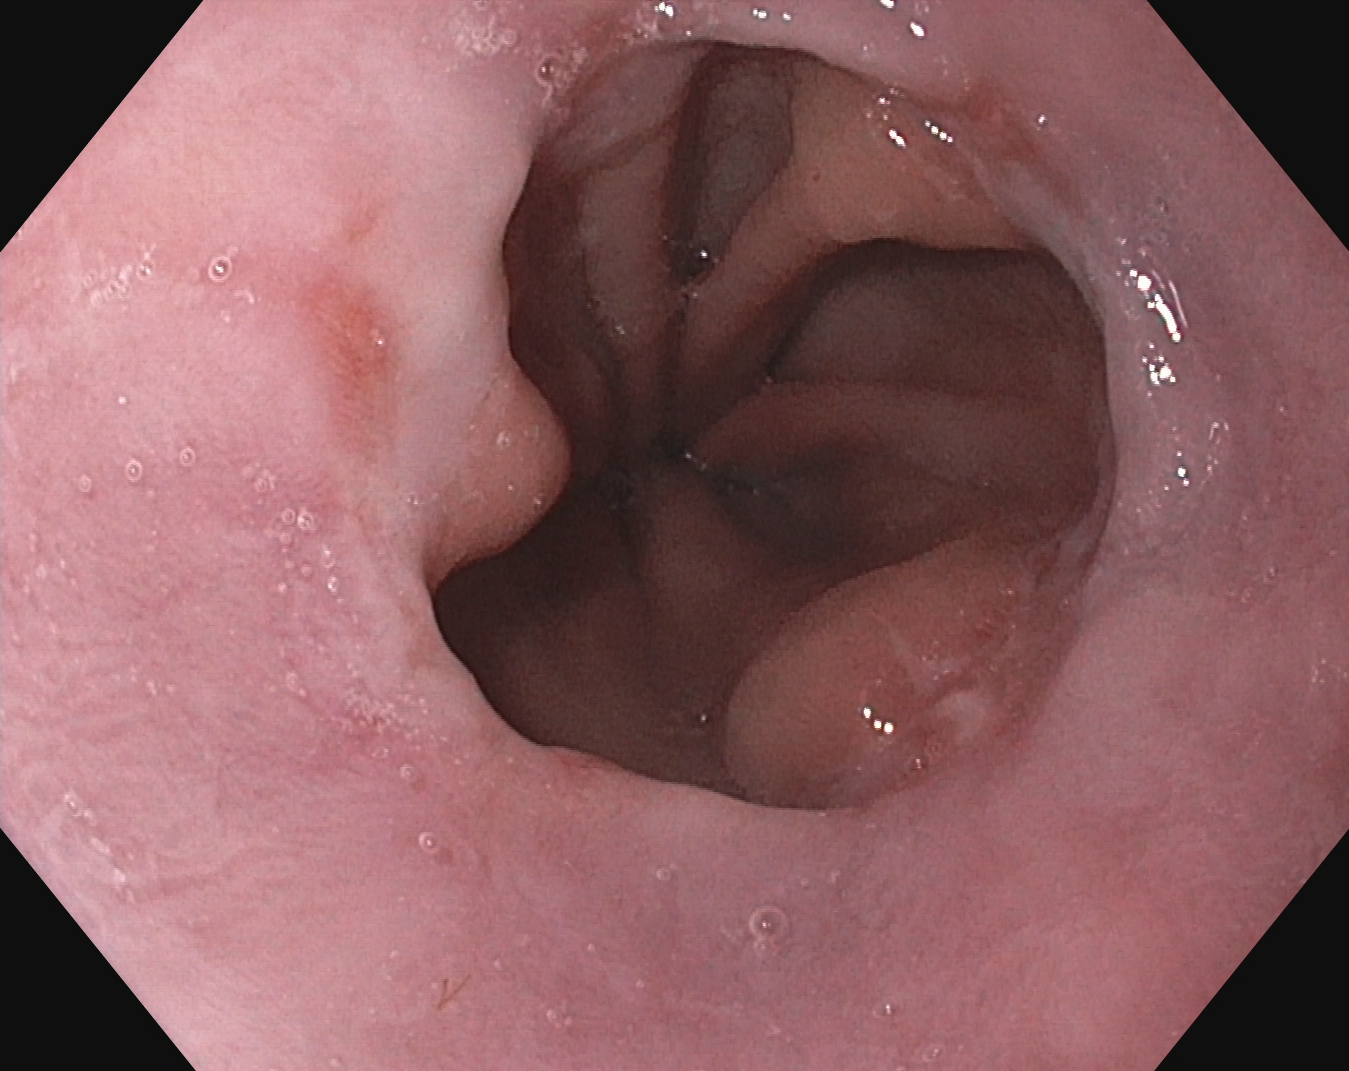PROCEDURE: Esophagogastroduodenoscopy.
FINDINGS: Reflux esophagitis, Los Angeles grade A.